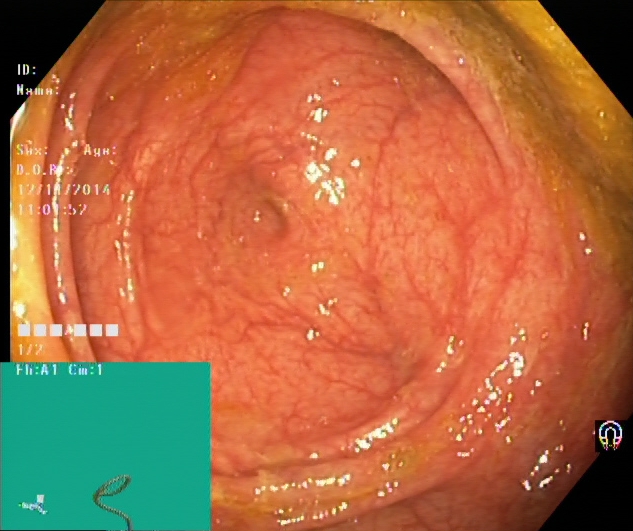Cecum.